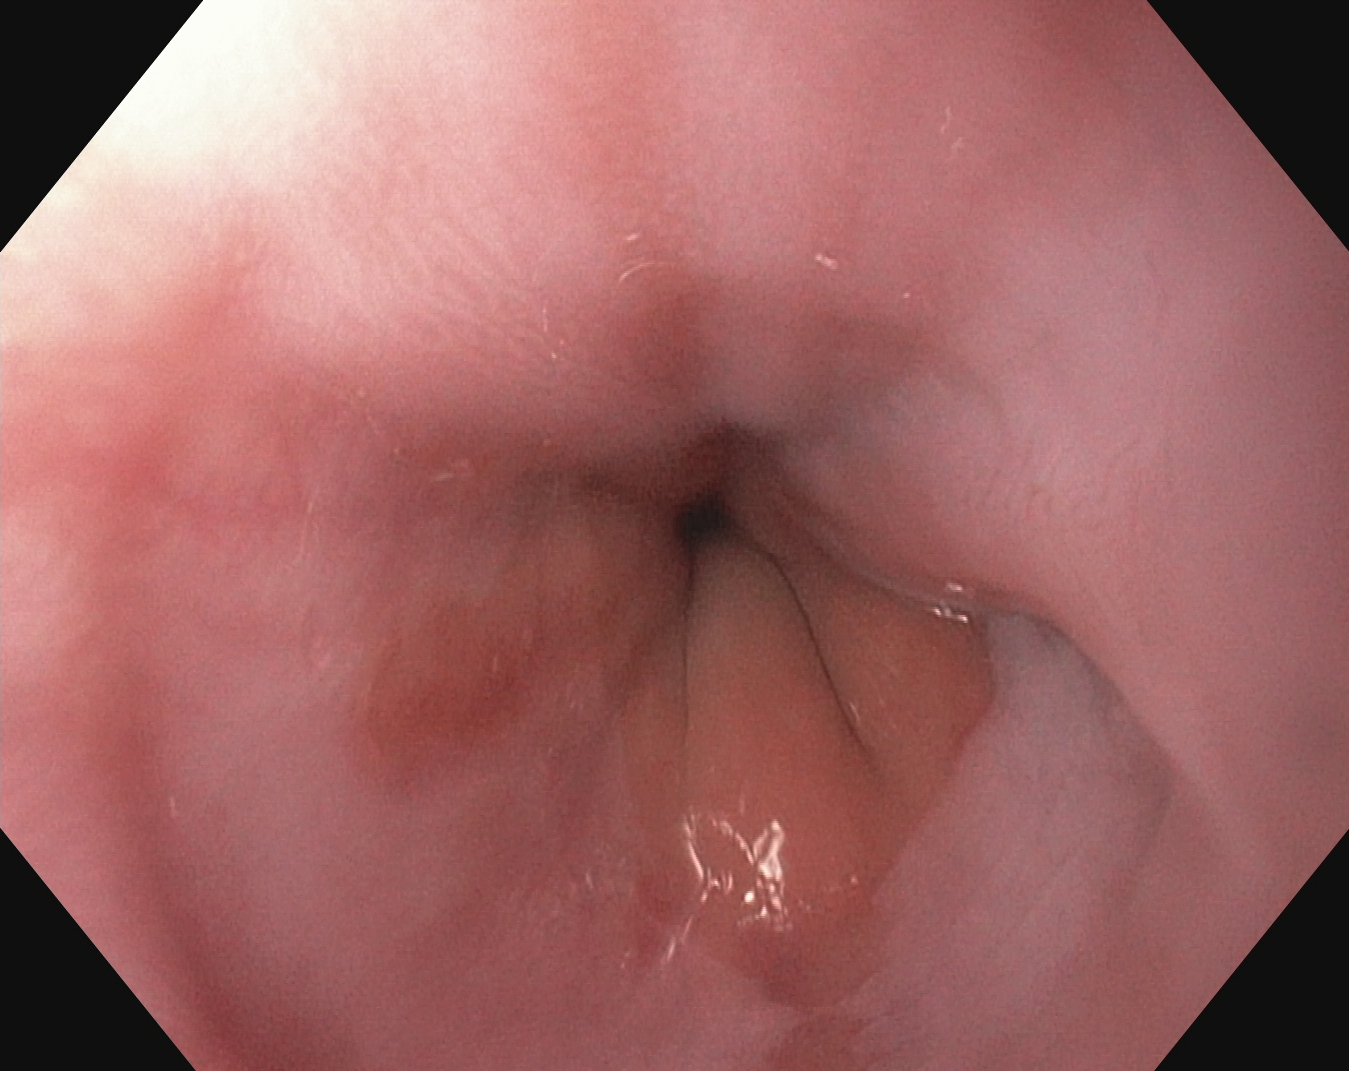EGD. Anatomical landmark. Finding: Z-line (gastroesophageal junction).